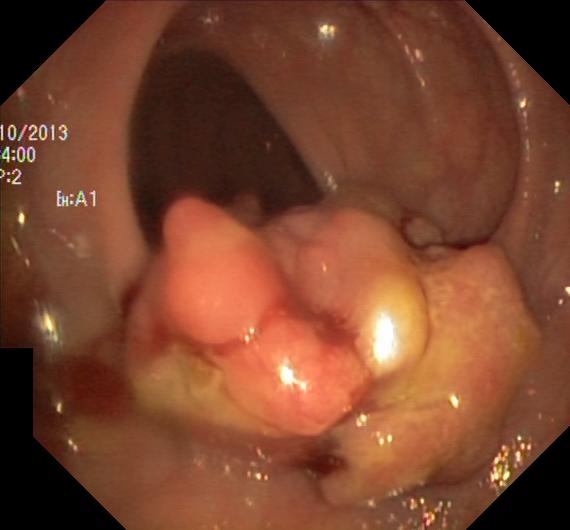Lower gastrointestinal endoscopy — colorectal polyp(s).